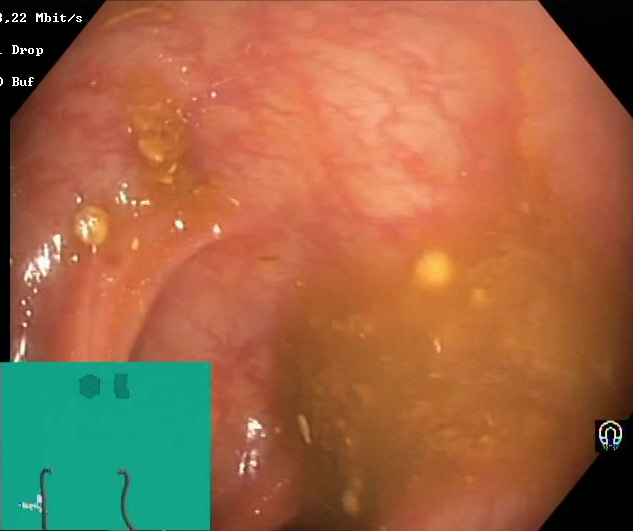{"modality": "lower-GI endoscopy", "category": "mucosal-view quality", "finding": "Boston Bowel Preparation Scale score 0\u20131 (inadequate preparation)"}